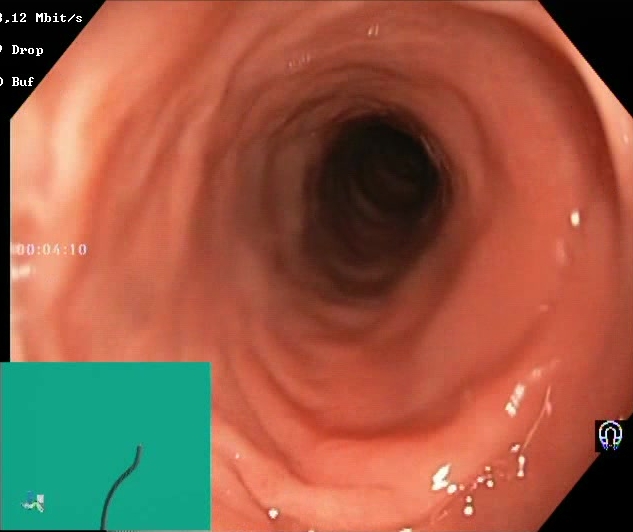Endoscopic image of the lower GI tract showing BBPS score 2–3 (adequate preparation).